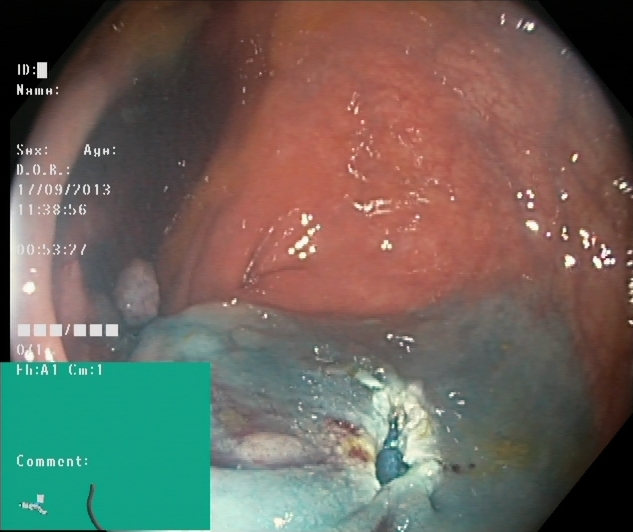{"modality": "lower-GI endoscopy", "tract": "lower GI tract", "category": "therapeutic intervention", "finding": "dyed resection margins (post-polypectomy)"}